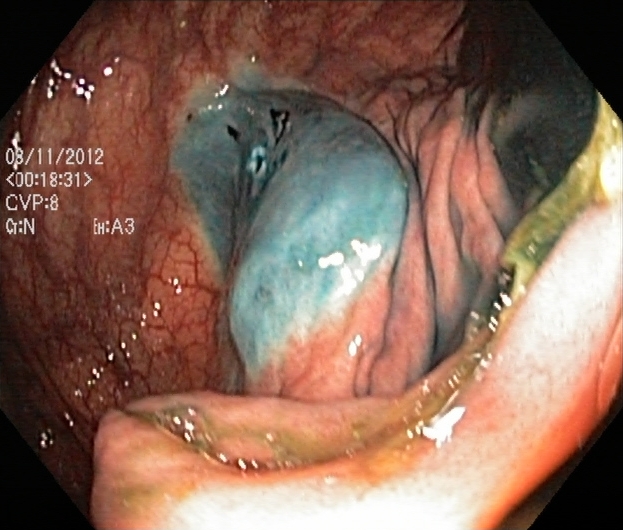Lower-GI endoscopy. Tract: lower GI tract. Therapeutic intervention. Finding: dyed resection margins (post-polypectomy).